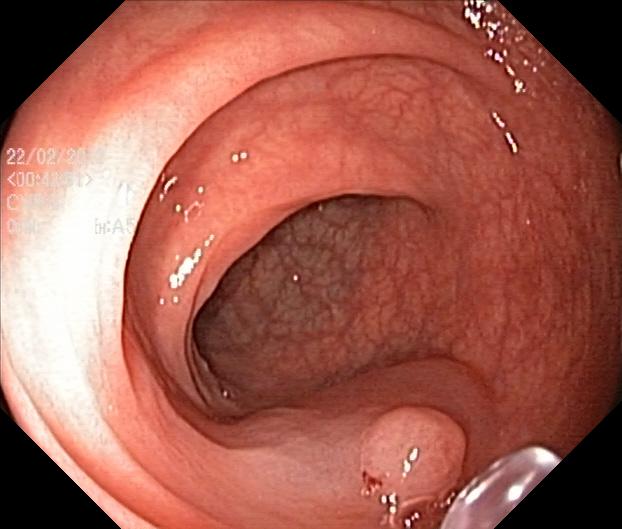{"modality": "colonoscopy", "tract": "lower GI tract", "finding": "colorectal polyp(s)"}